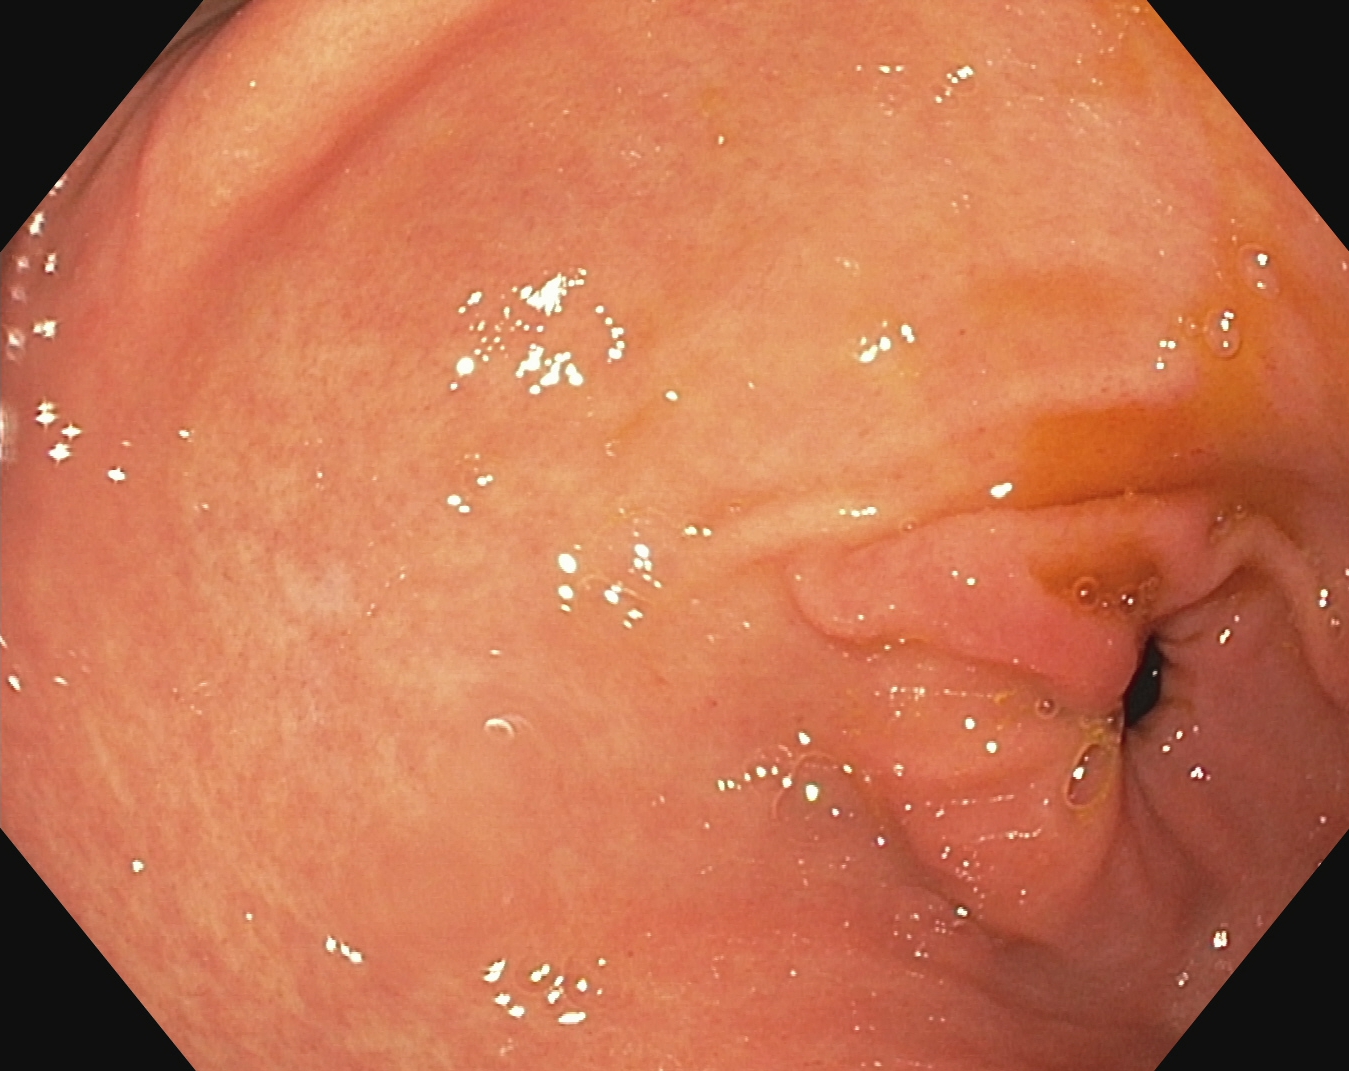modality: gastroscopy | category: anatomical landmark | finding: pylorus